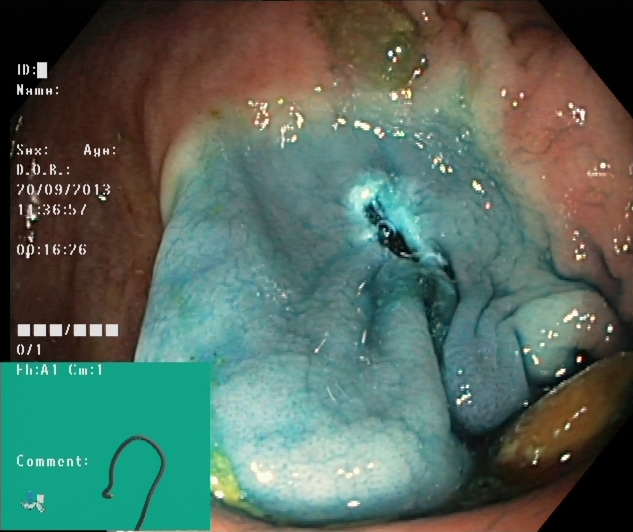modality: lower gastrointestinal endoscopy | tract: lower GI tract | finding: dyed resection margins (post-polypectomy)